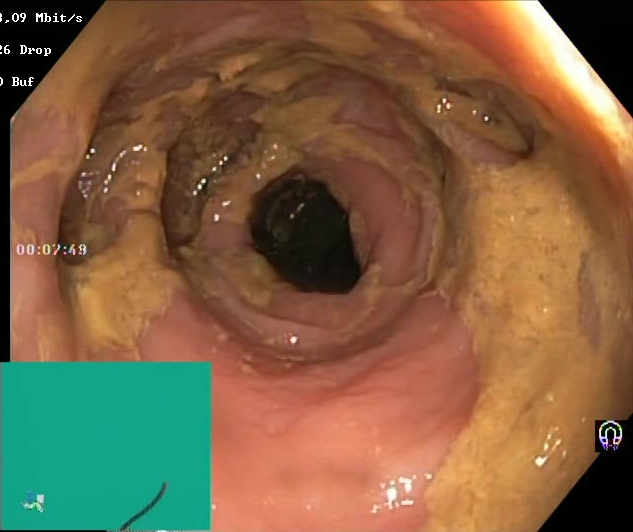Boston Bowel Preparation Scale score 0–1 (inadequate preparation).